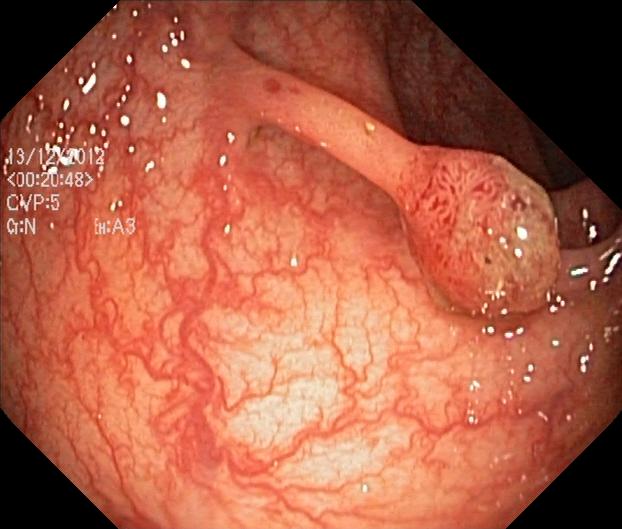{"modality": "lower-GI endoscopy", "tract": "lower GI tract", "finding": "colorectal polyp(s)"}